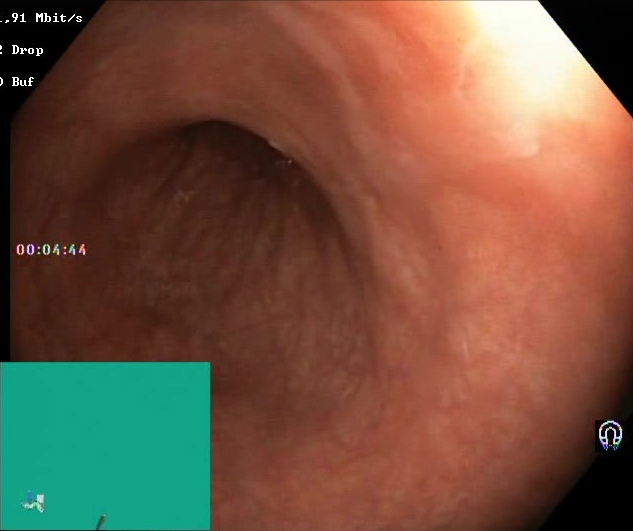Boston Bowel Preparation Scale score 2–3 (adequate preparation).